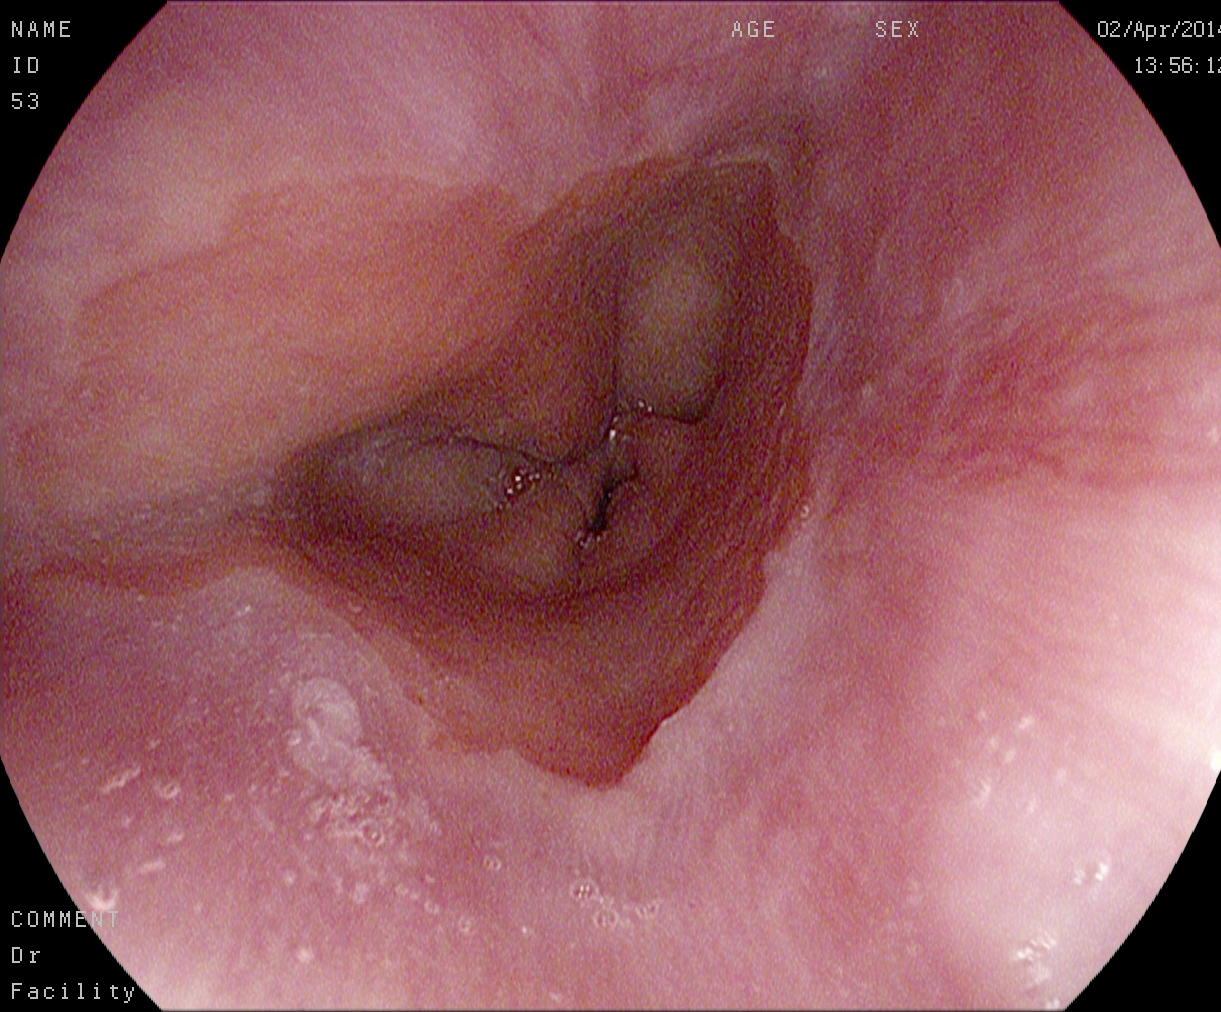Barrett's esophagus, short segment.